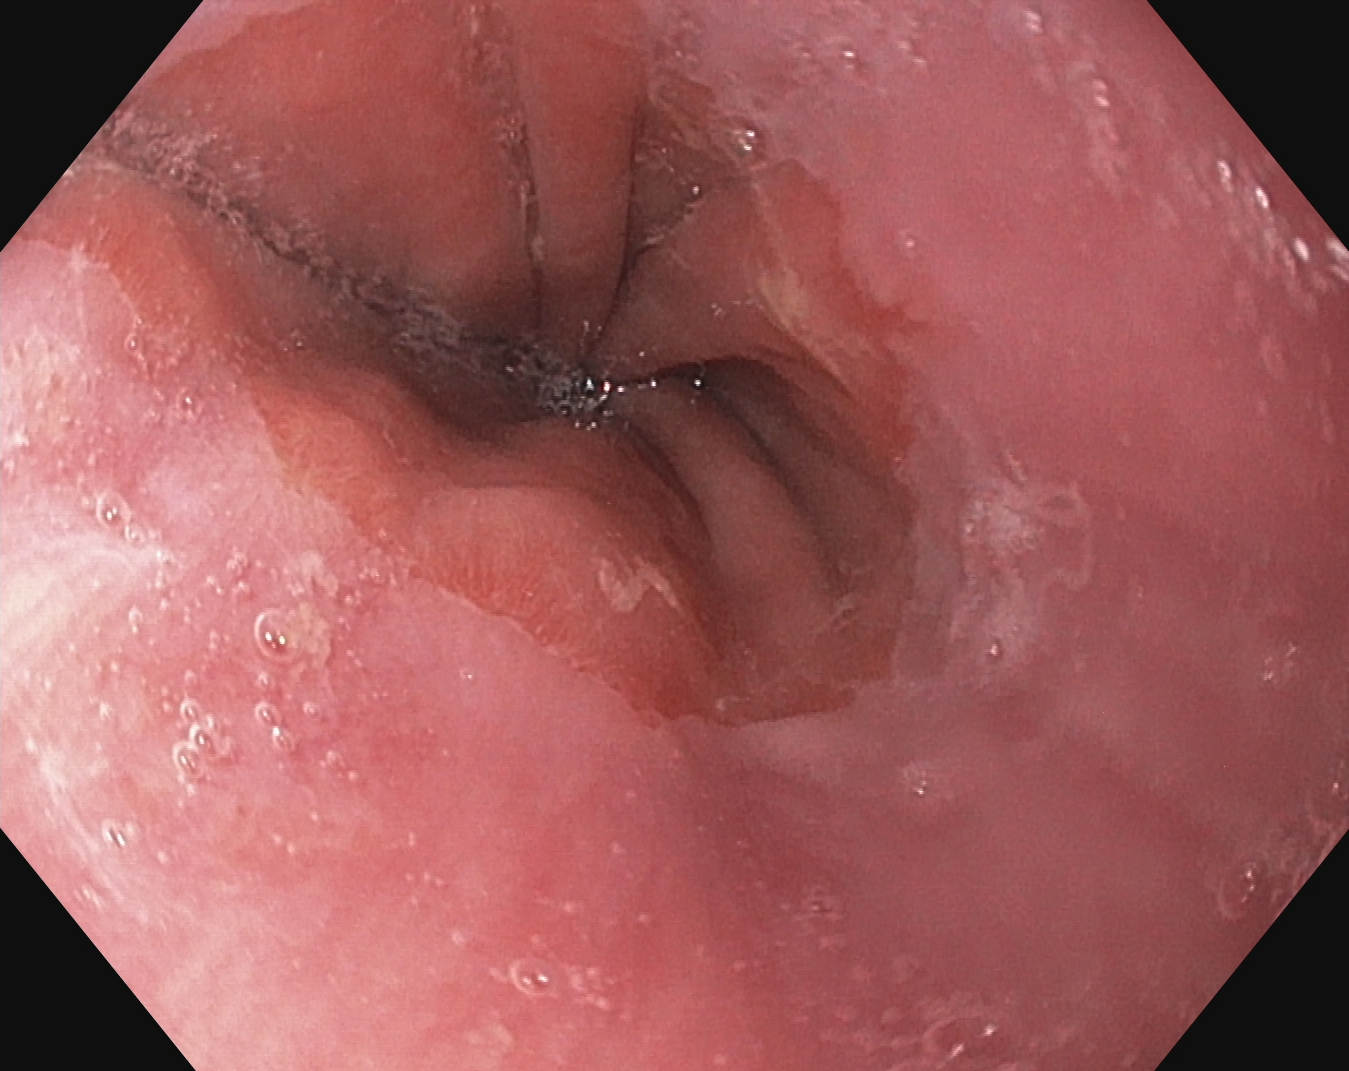Upper-GI endoscopy — Z-line (gastroesophageal junction).